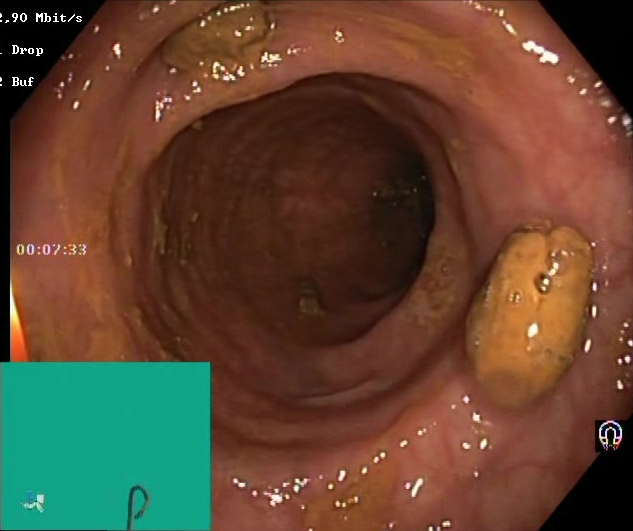{"modality": "colonoscopy", "category": "mucosal-view quality", "finding": "BBPS score 2\u20133 (adequate preparation)"}